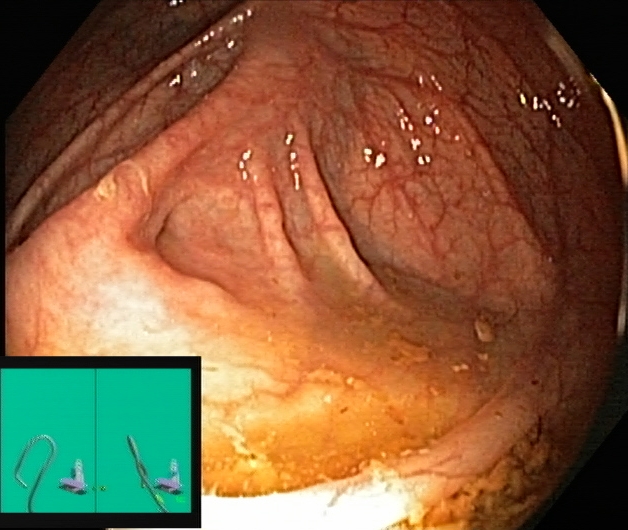modality: lower-GI endoscopy
finding: cecum